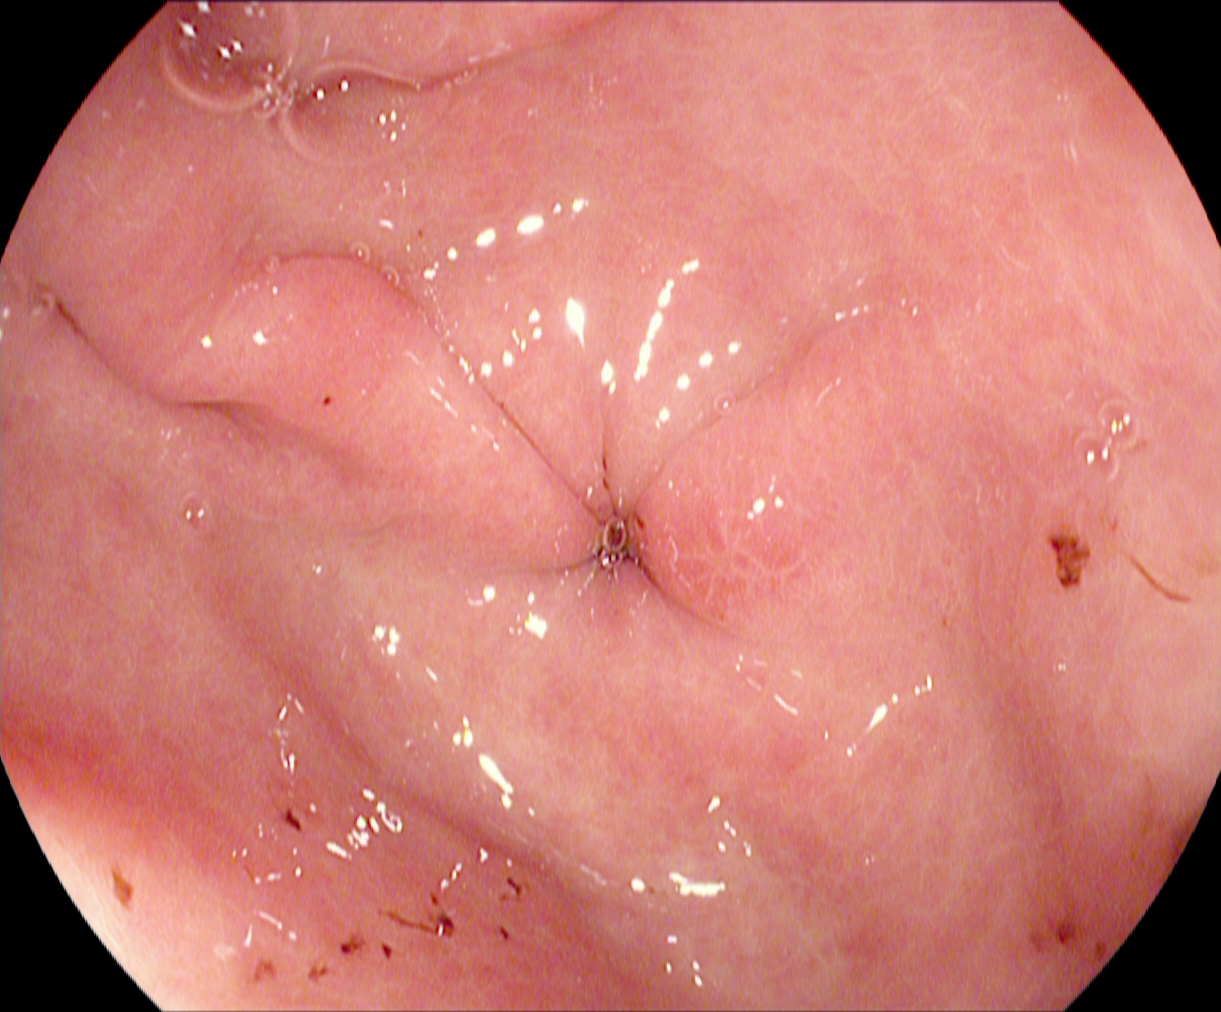Endoscopic image of the upper GI tract showing pylorus.